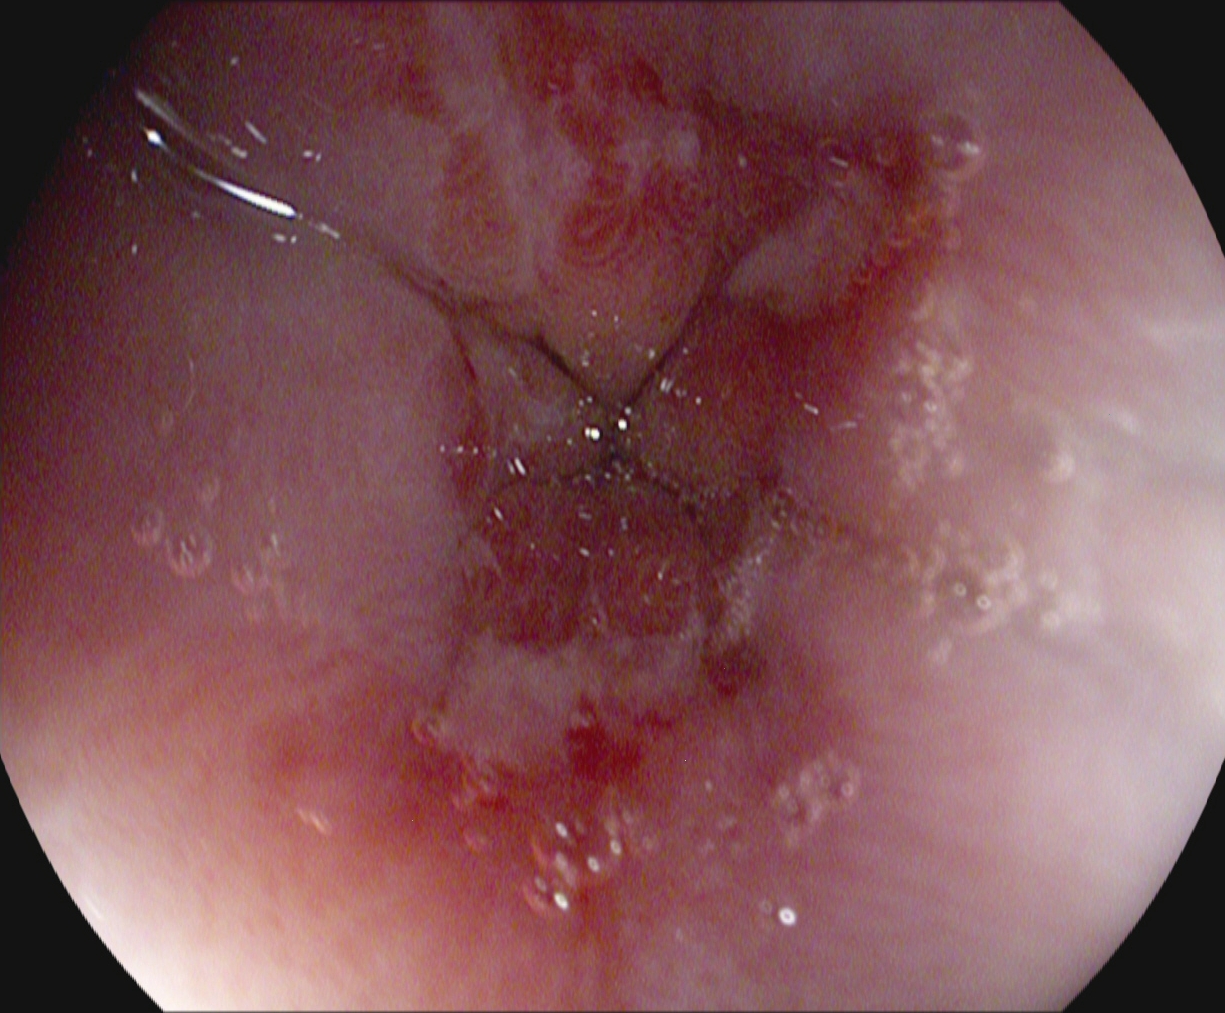EGD. Tract: upper GI tract. Pathological finding. Finding: reflux esophagitis, LA grade B–D.